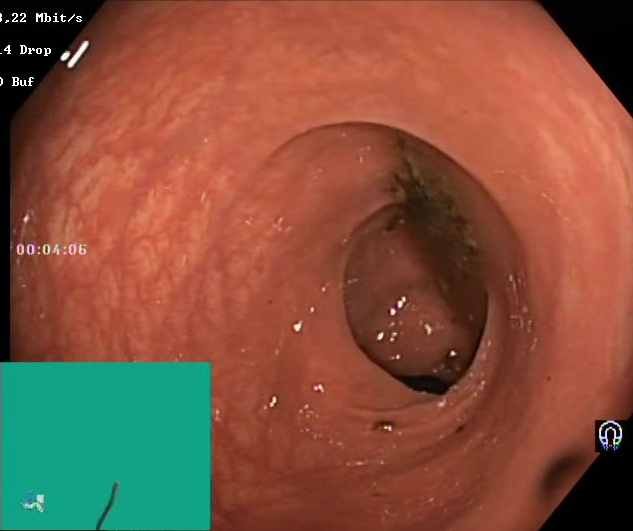{"modality": "colonoscopy", "tract": "lower GI tract", "finding": "Boston Bowel Preparation Scale score 0\u20131 (inadequate preparation)"}